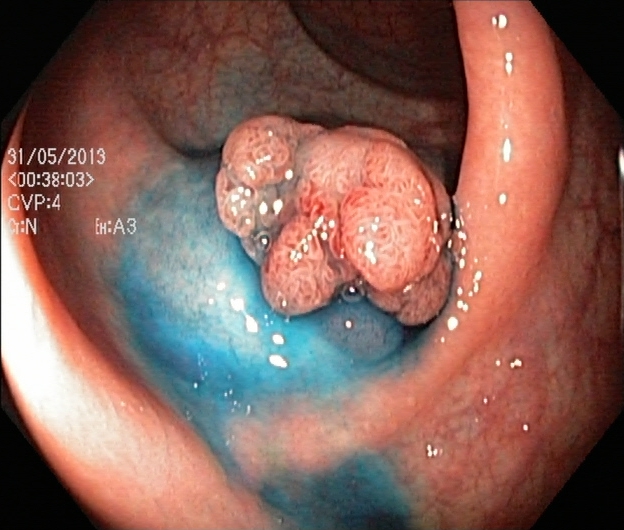{"modality": "lower gastrointestinal endoscopy", "category": "therapeutic intervention", "finding": "dyed and lifted polyp (pre-resection)"}